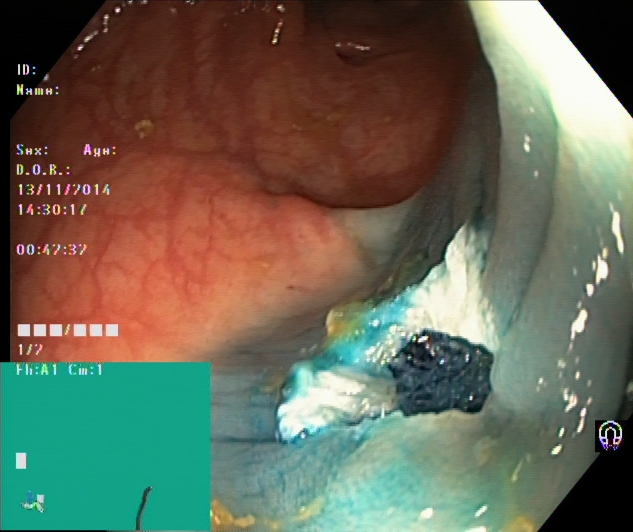{"modality": "lower gastrointestinal endoscopy", "tract": "lower GI tract", "finding": "dyed resection margins (post-polypectomy)"}